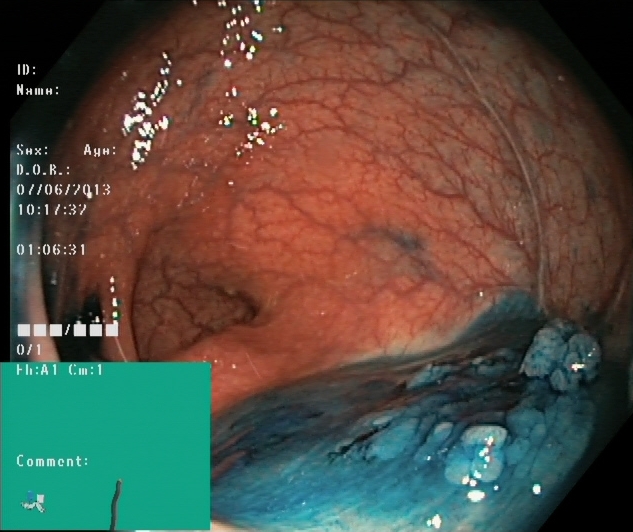Colonoscopy. Tract: lower GI tract. Therapeutic intervention. Finding: dyed and lifted polyp (pre-resection).